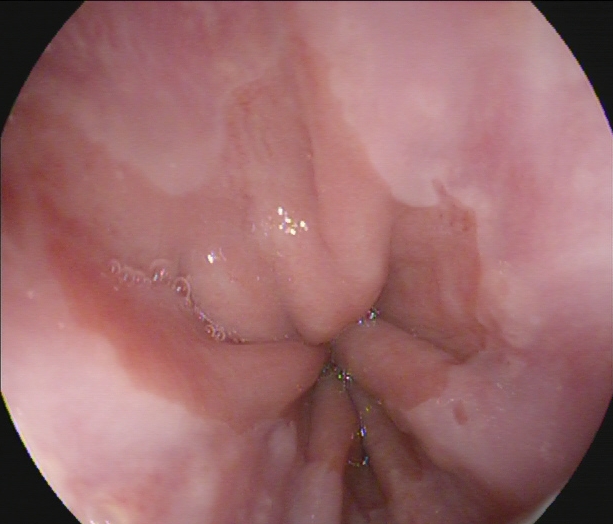PROCEDURE: EGD.
CATEGORY: Anatomical landmark.
FINDINGS: Z-line (gastroesophageal junction).